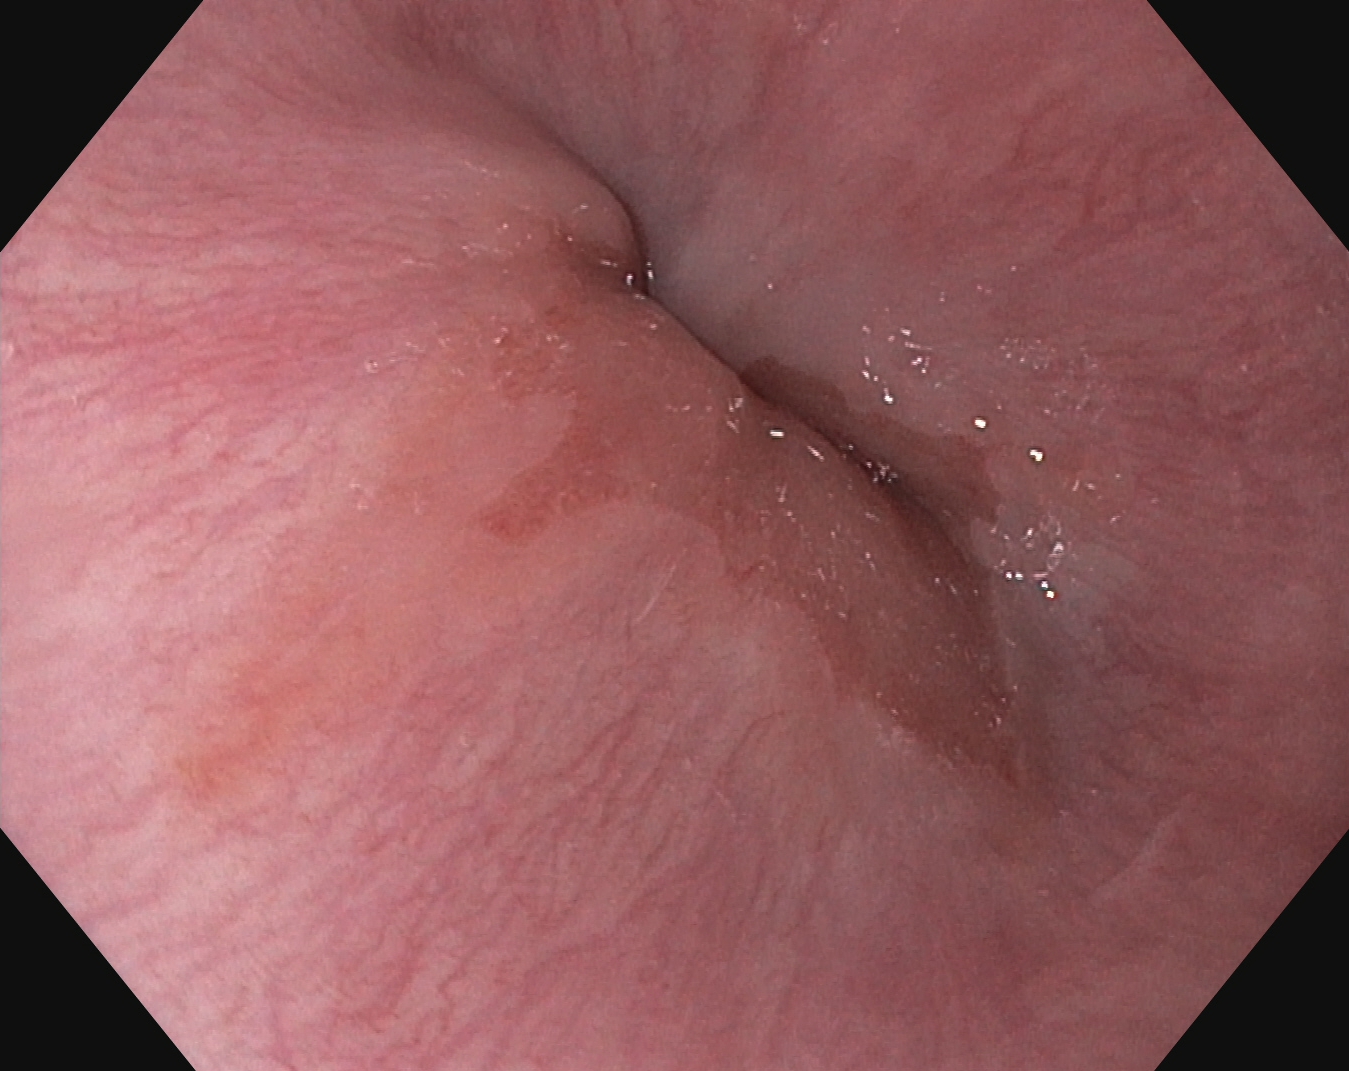This endoscopy frame shows Z-line (gastroesophageal junction).